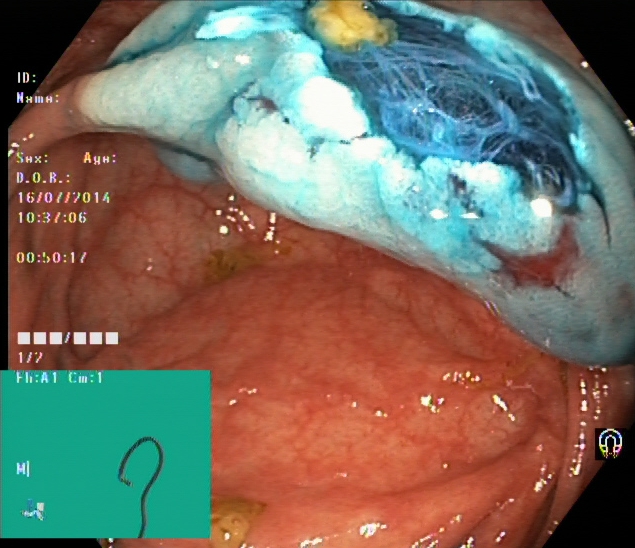Lower gastrointestinal endoscopy. Tract: lower GI tract. Therapeutic intervention. Finding: dyed resection margins (post-polypectomy).